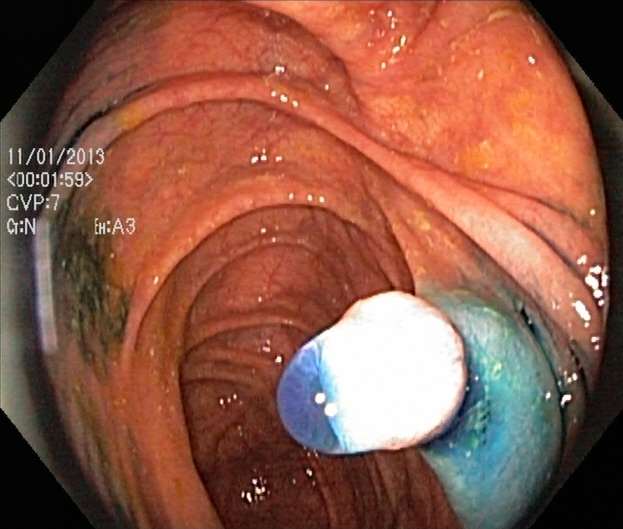PROCEDURE: Lower gastrointestinal endoscopy.
CATEGORY: Therapeutic intervention.
FINDINGS: Dyed and lifted polyp (pre-resection).